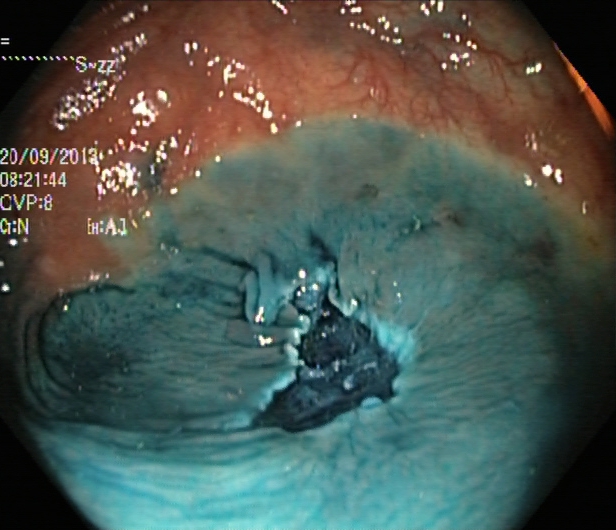Dyed resection margins (post-polypectomy).